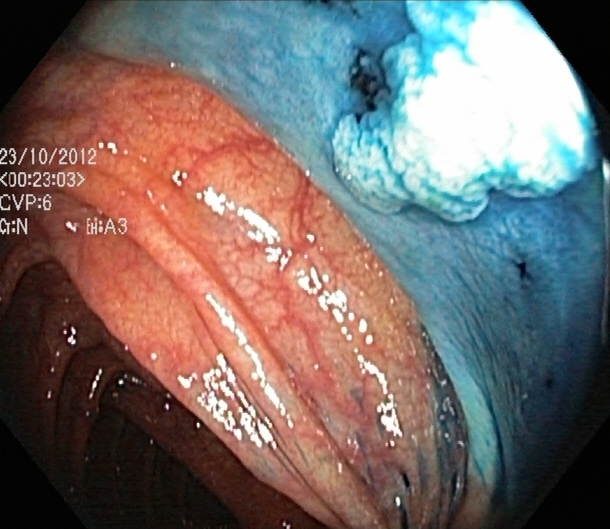{"modality": "colonoscopy", "tract": "lower GI tract", "finding": "dyed and lifted polyp (pre-resection)"}